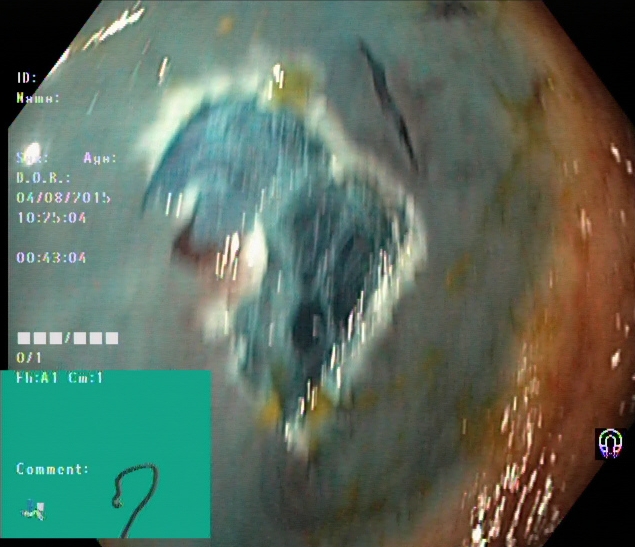PROCEDURE: Lower-GI endoscopy.
CATEGORY: Therapeutic intervention.
FINDINGS: Dyed resection margins (post-polypectomy).